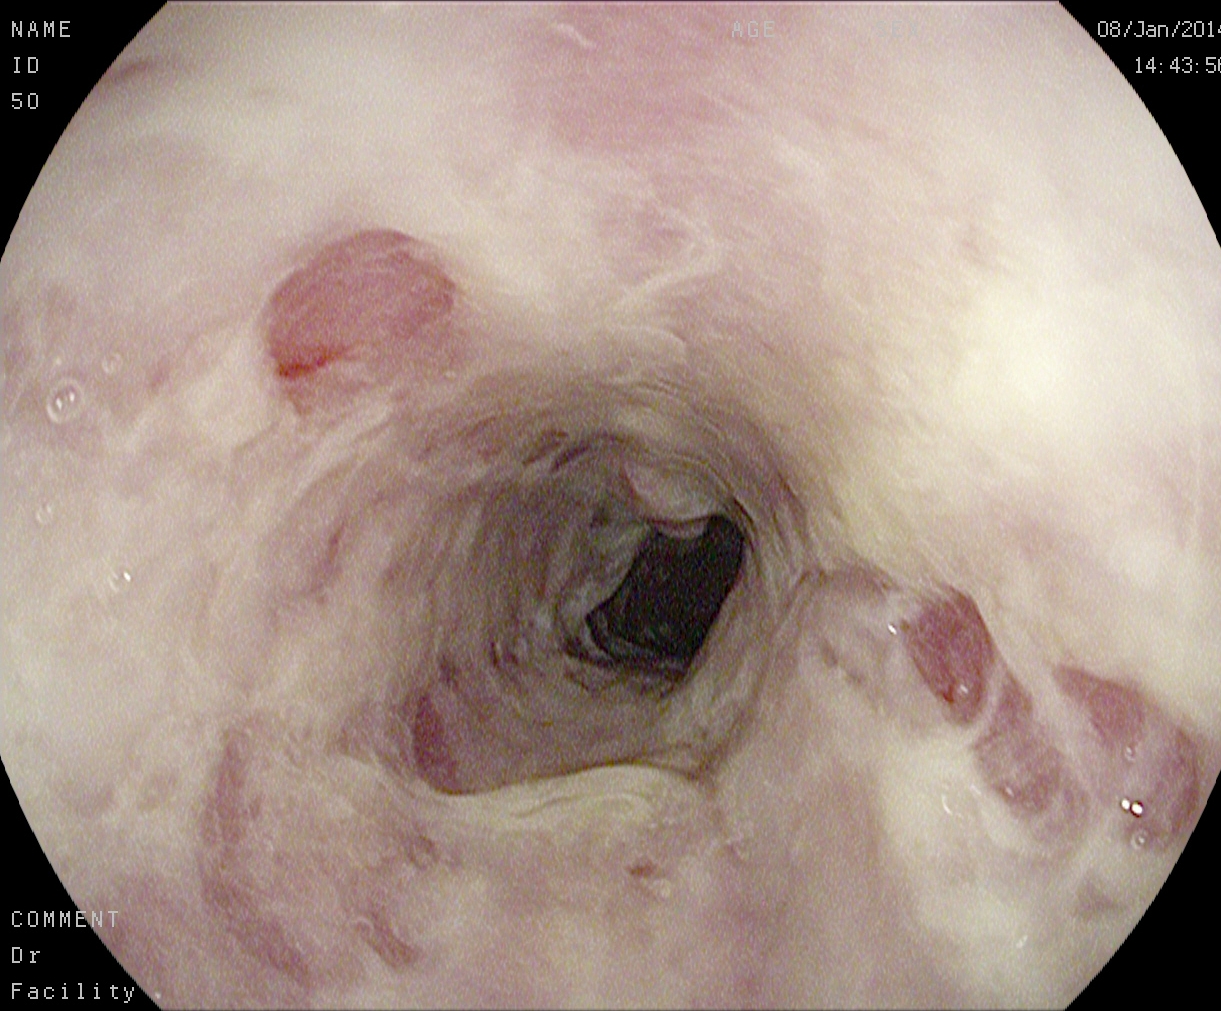EGD image of the upper GI tract showing reflux esophagitis, Los Angeles grade B–D.